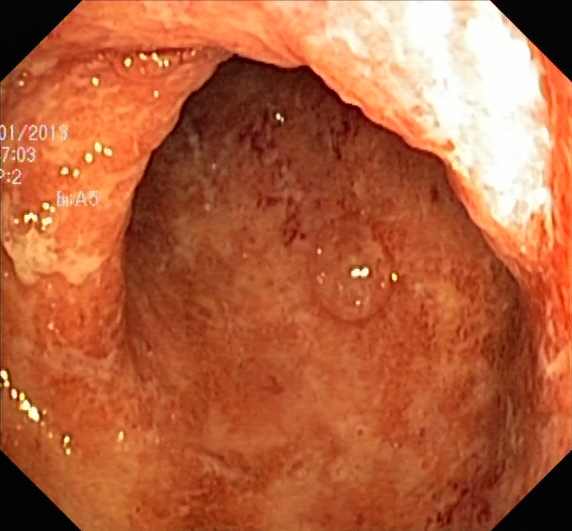PROCEDURE: Colonoscopy.
FINDINGS: Ulcerative colitis, Mayo endoscopic subscore 2–3.